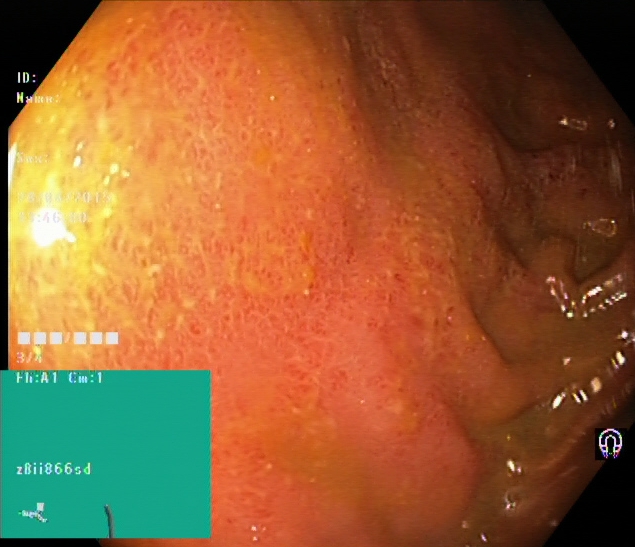Lower-GI endoscopy — ulcerative colitis, Mayo endoscopic subscore 2.